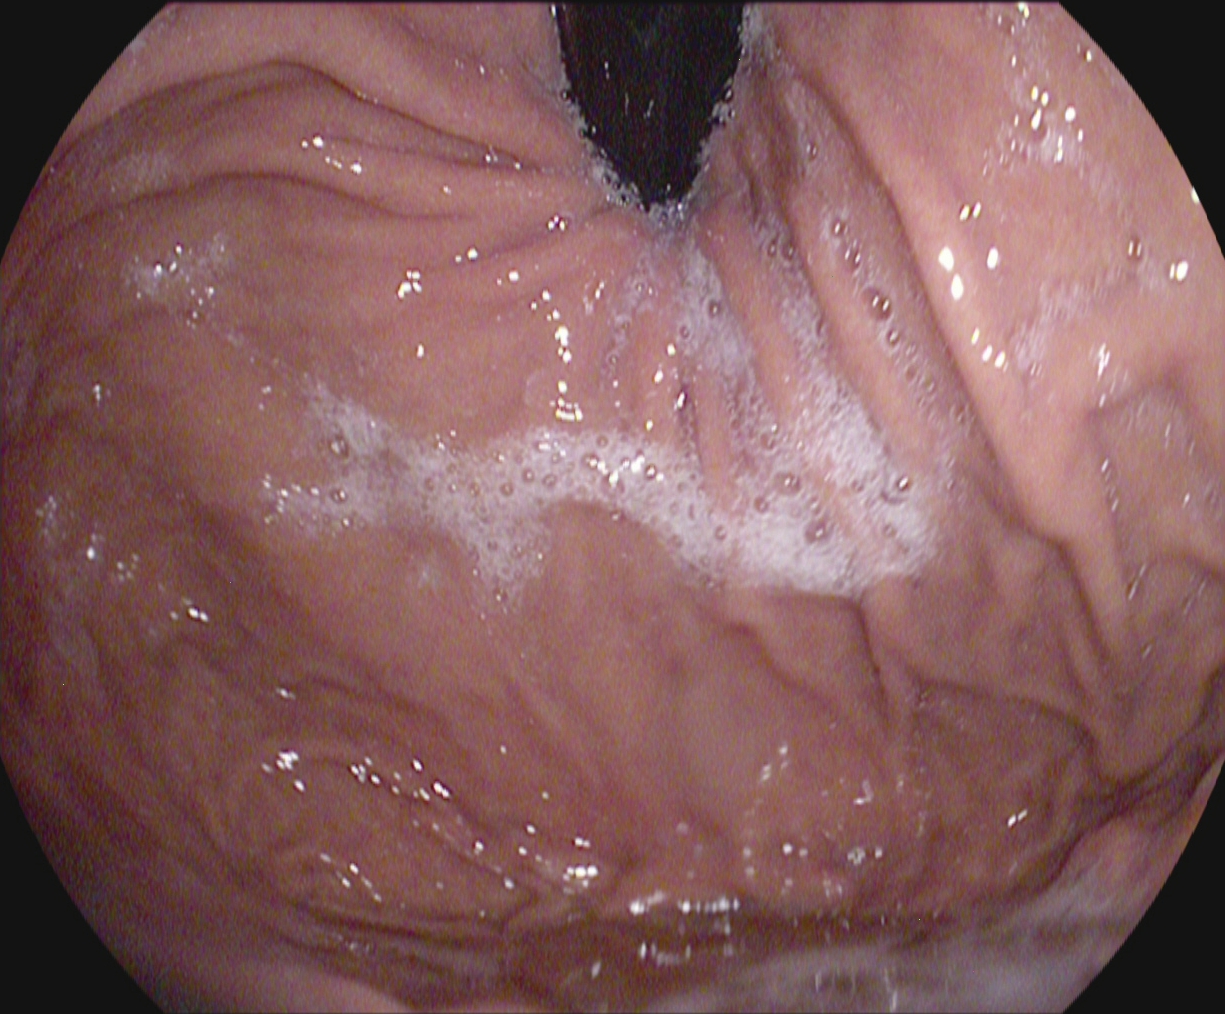Gastroscopy — stomach in retroflexion.